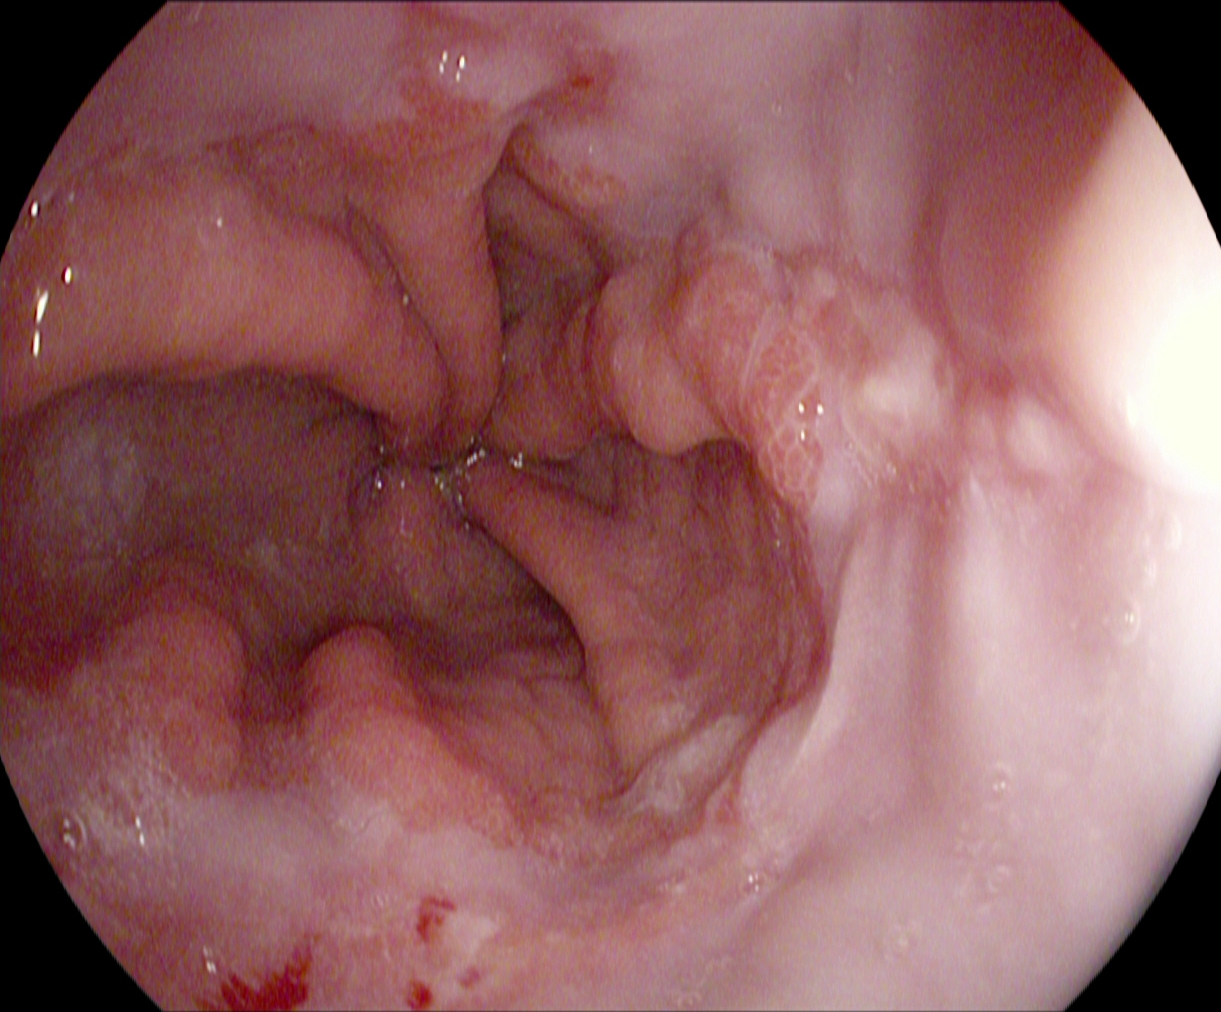{"modality": "EGD", "tract": "upper GI tract", "finding": "reflux esophagitis, Los Angeles grade A"}